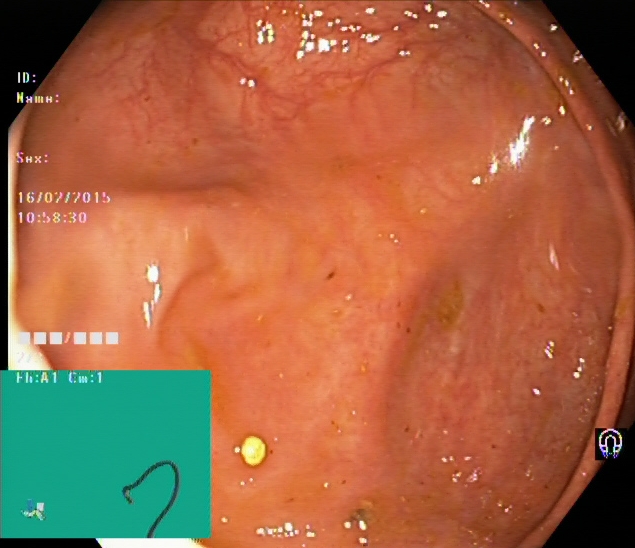{"modality": "colonoscopy", "tract": "lower GI tract", "finding": "cecum"}